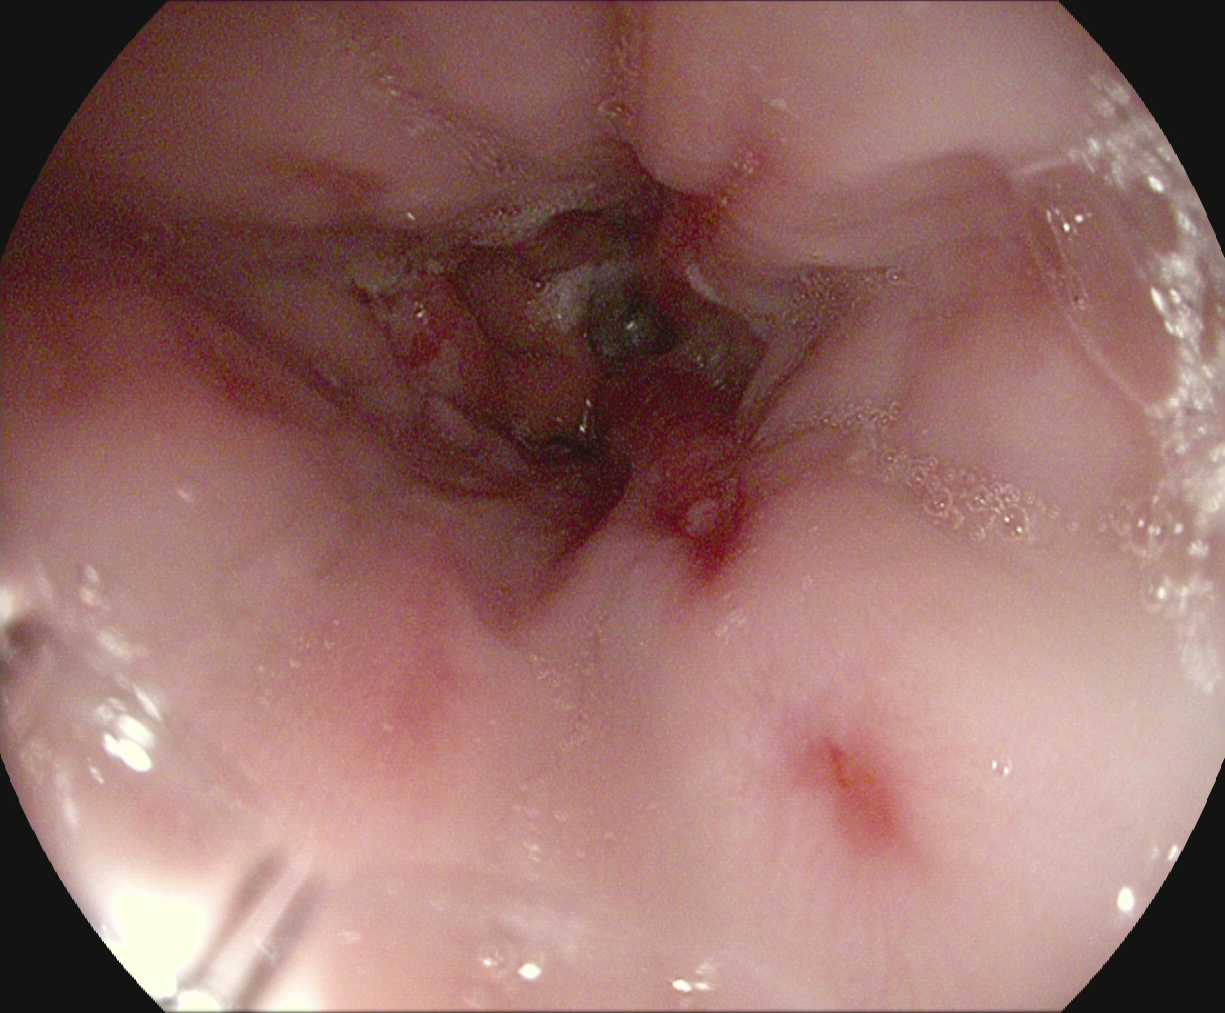{"modality": "EGD", "tract": "upper GI tract", "category": "pathological finding", "finding": "reflux esophagitis, LA grade B\u2013D"}